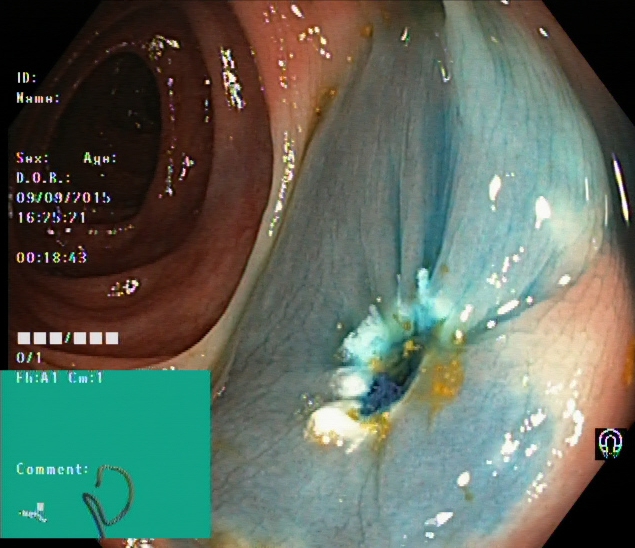{"modality": "colonoscopy", "tract": "lower GI tract", "category": "therapeutic intervention", "finding": "dyed resection margins (post-polypectomy)"}